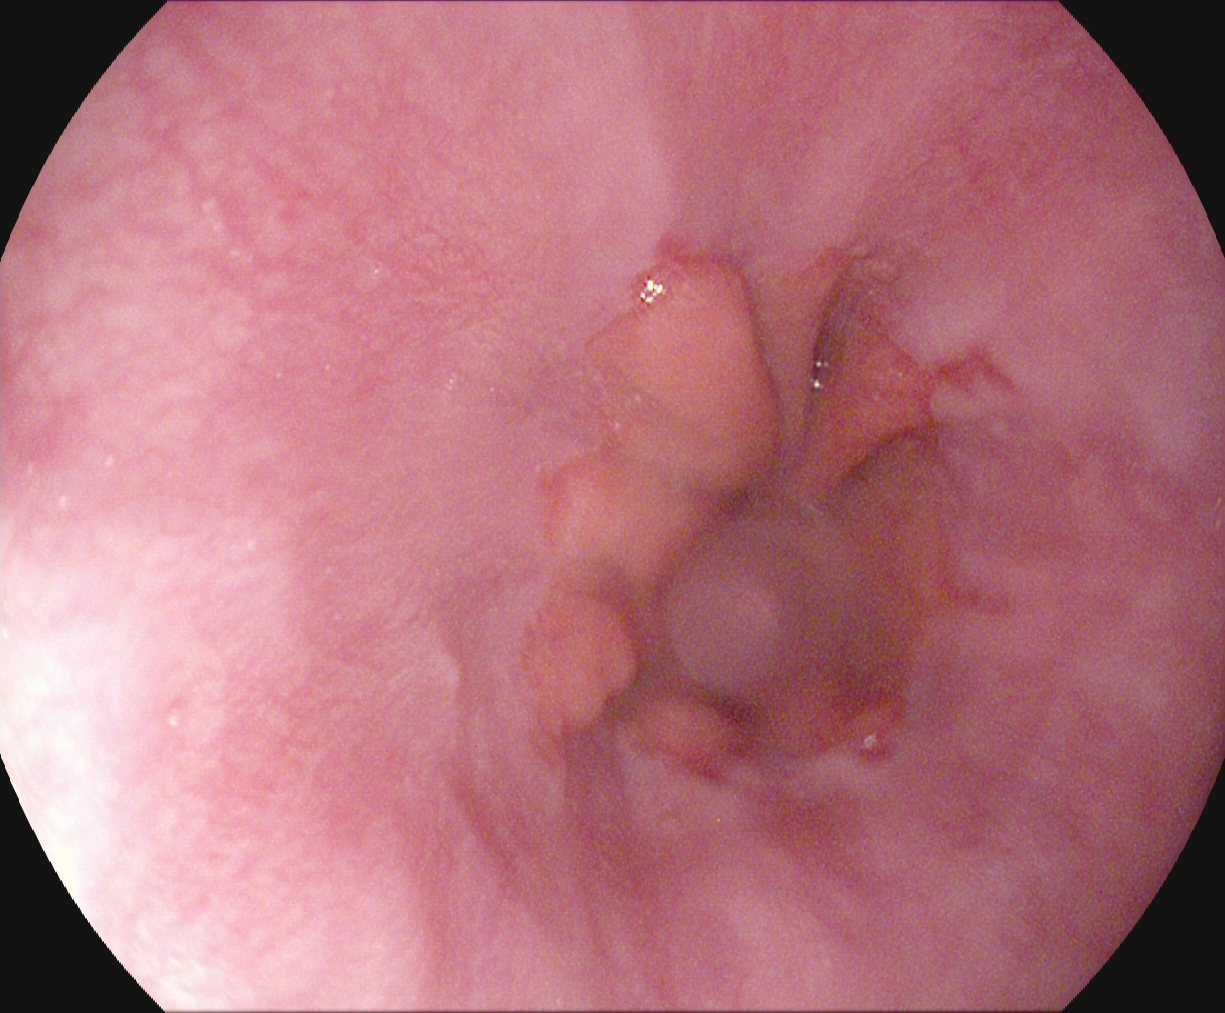Reflux esophagitis, Los Angeles grade A.